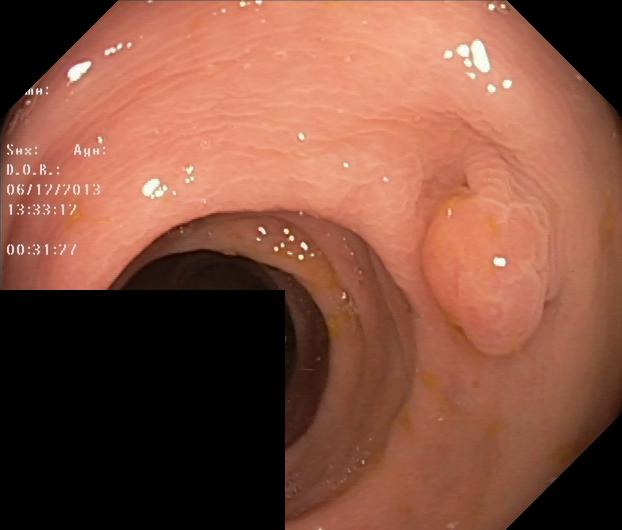This endoscopic image of the lower GI tract shows colorectal polyp(s).